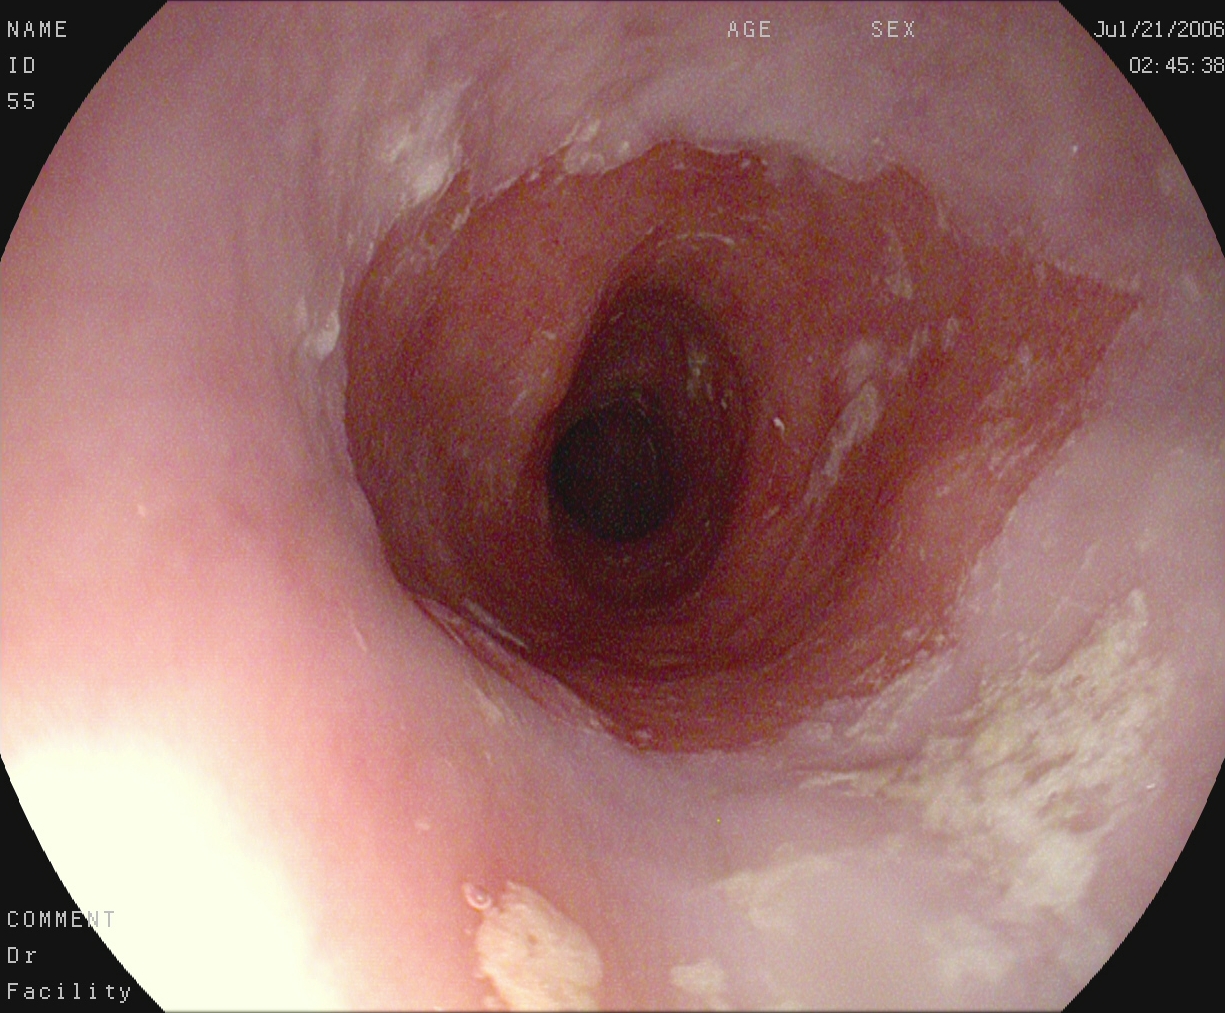PROCEDURE: EGD.
FINDINGS: Barrett's esophagus.